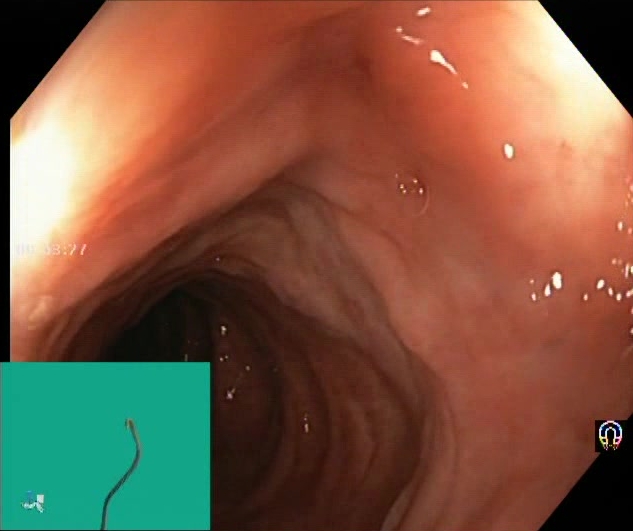Colonoscopy. Tract: lower GI tract. Mucosal-view quality. Finding: Boston Bowel Preparation Scale score 2–3 (adequate preparation).